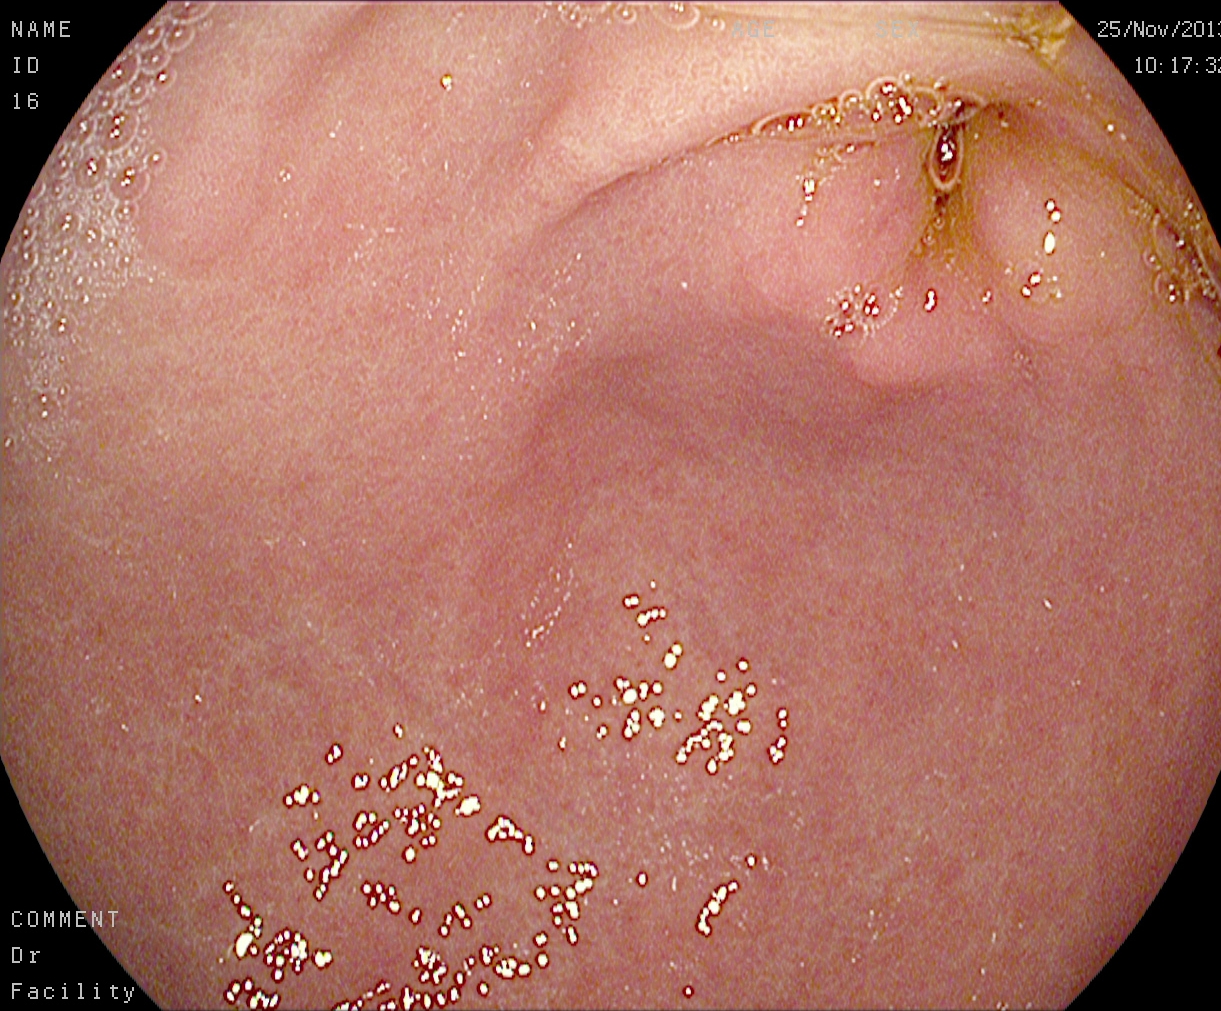PROCEDURE: Esophagogastroduodenoscopy.
FINDINGS: Pylorus.